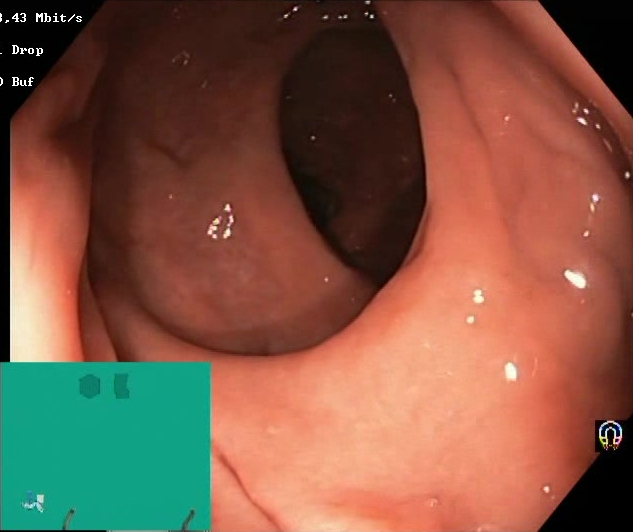Boston Bowel Preparation Scale score 2–3 (adequate preparation).